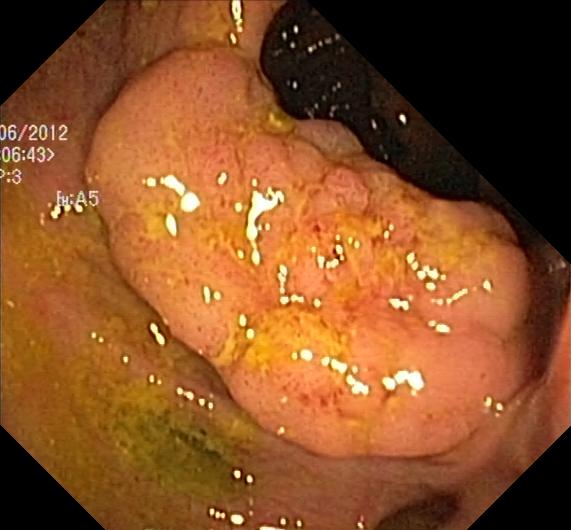PROCEDURE: Colonoscopy.
FINDINGS: Colorectal polyp(s).